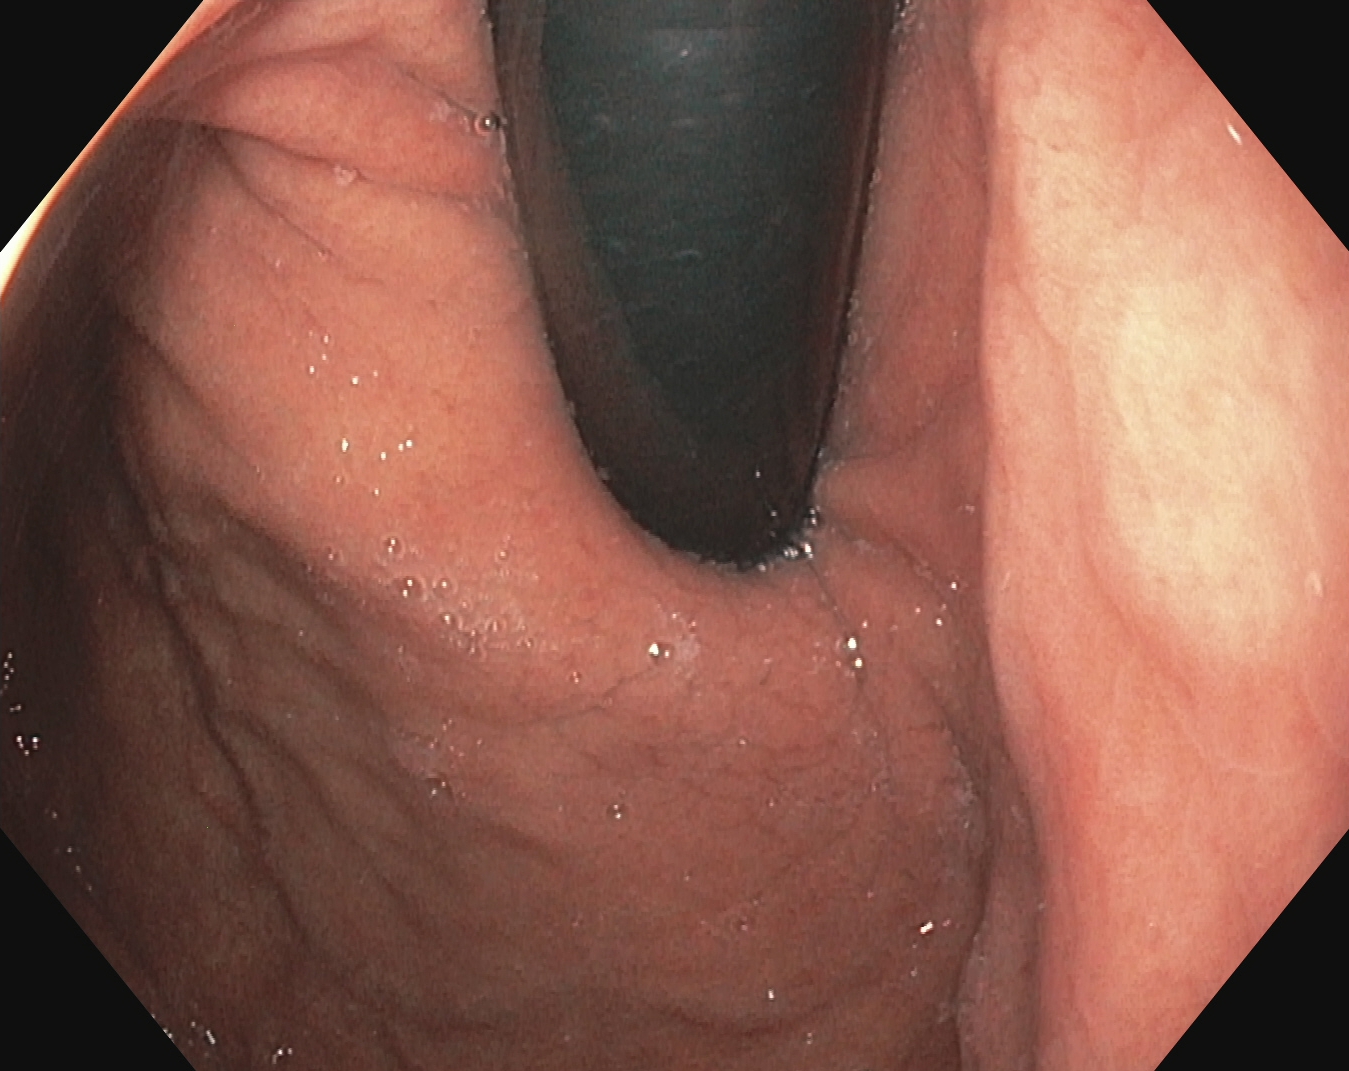Gastrointestinal endoscopy image of the upper GI tract showing stomach in retroflexion.